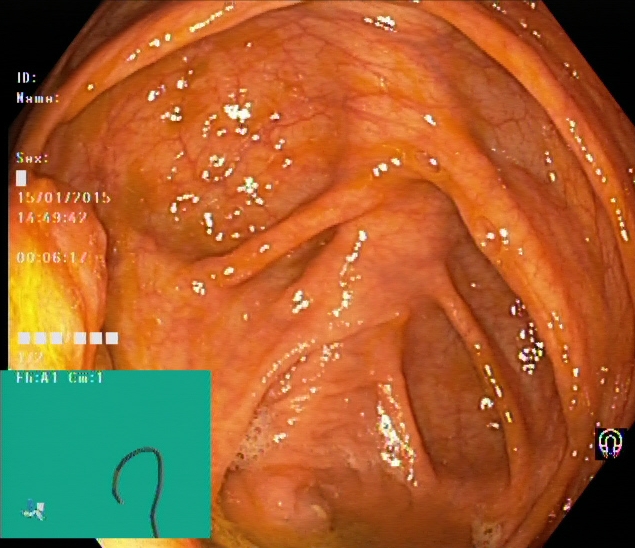Cecum.